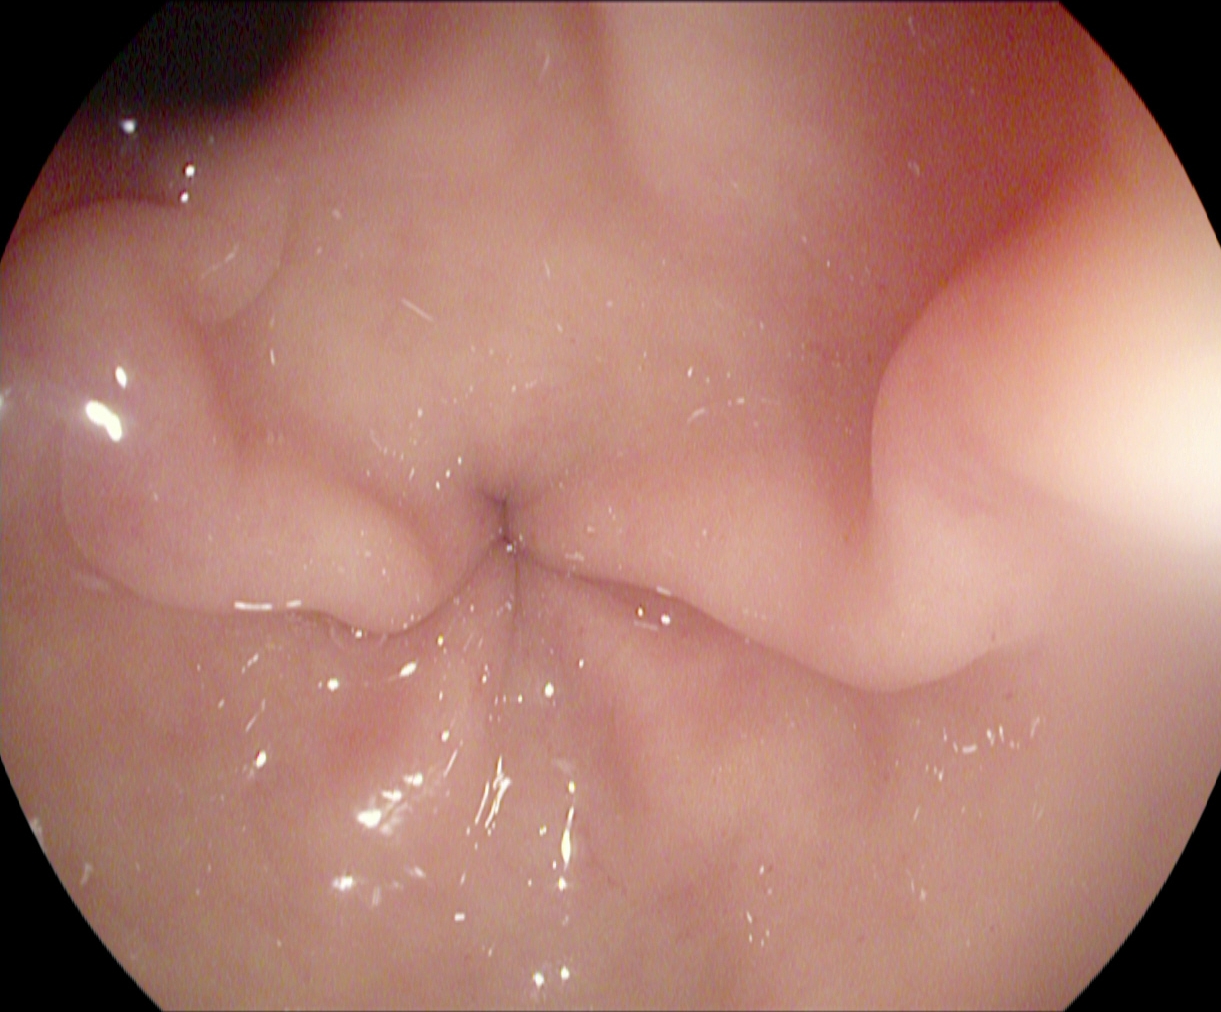Endoscopic image showing pylorus.